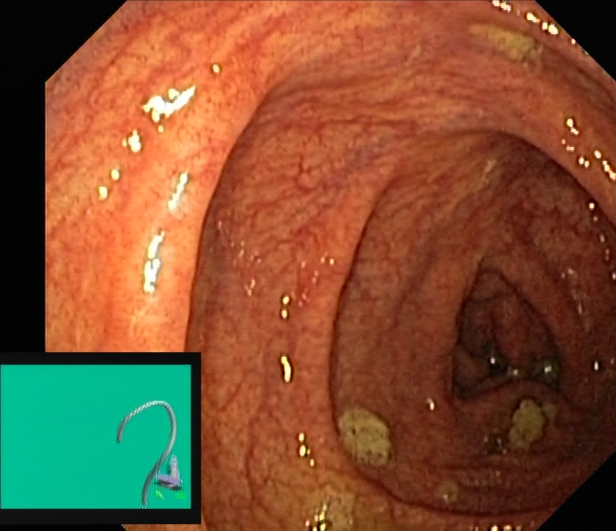This endoscopy frame of the lower GI tract shows UC, Mayo endoscopic subscore 0–1.